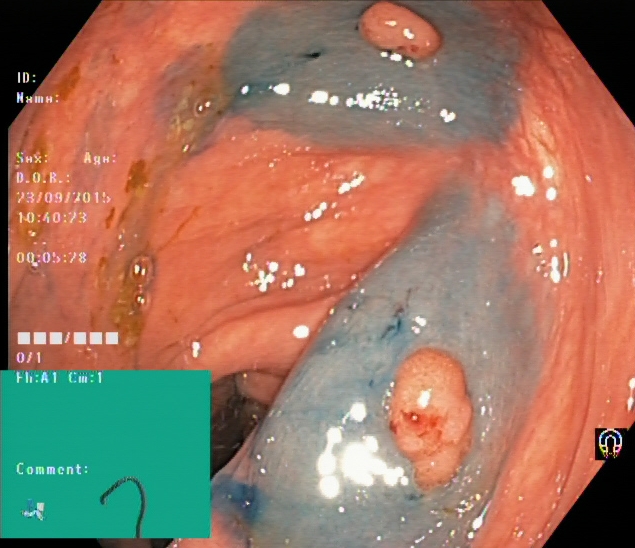PROCEDURE: Lower-GI endoscopy.
CATEGORY: Therapeutic intervention.
FINDINGS: Dyed and lifted polyp (pre-resection).